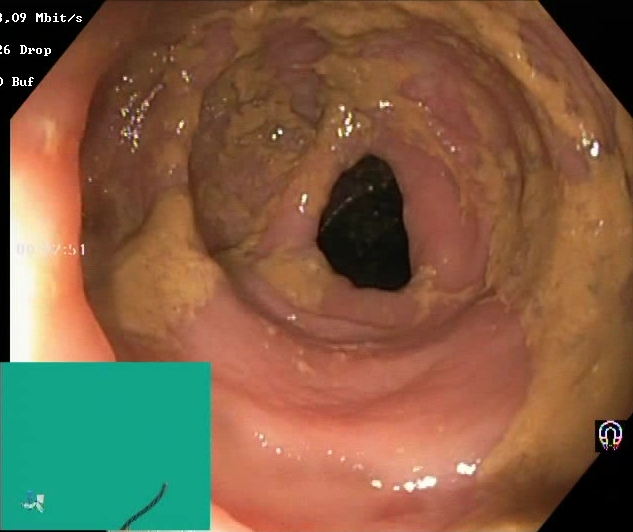modality: colonoscopy; tract: lower GI tract; category: mucosal-view quality; finding: Boston Bowel Preparation Scale score 0–1 (inadequate preparation)